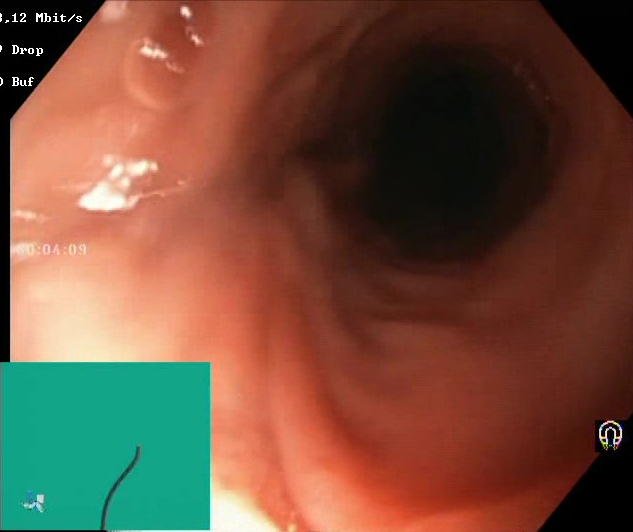BBPS score 2–3 (adequate preparation).